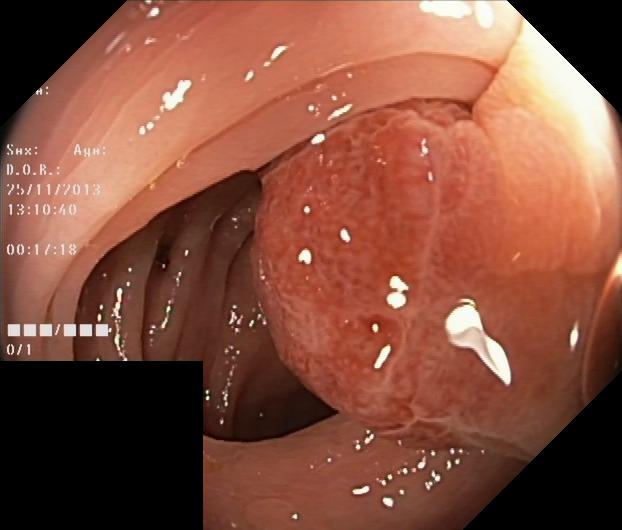Lower gastrointestinal endoscopy. Finding: colorectal polyp(s).